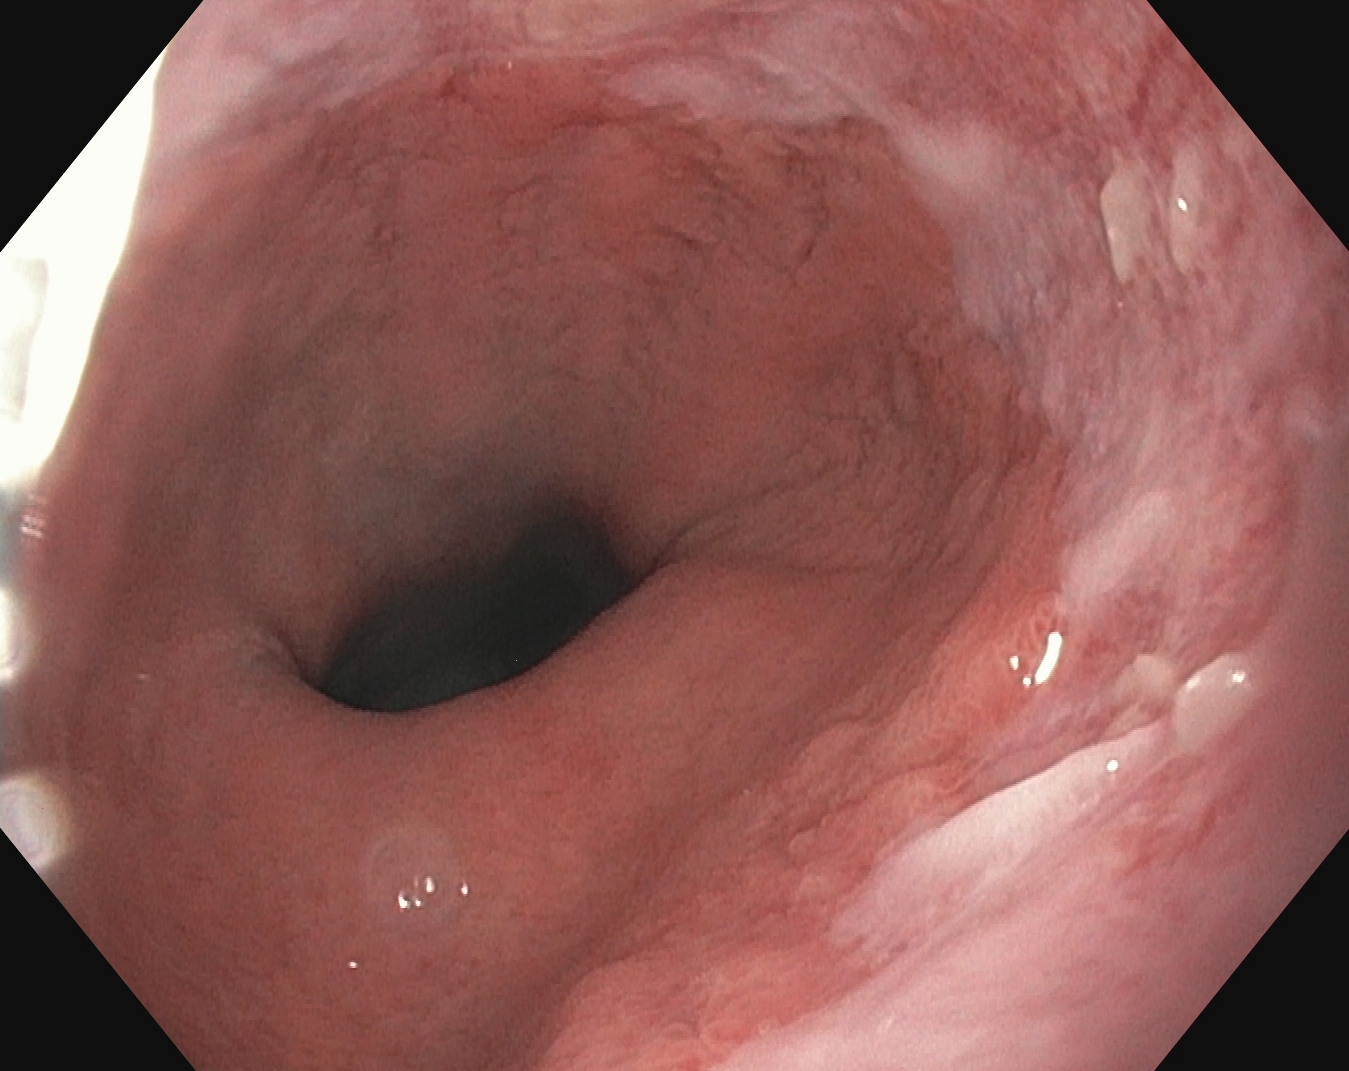PROCEDURE: EGD.
FINDINGS: Reflux esophagitis, LA grade B–D.